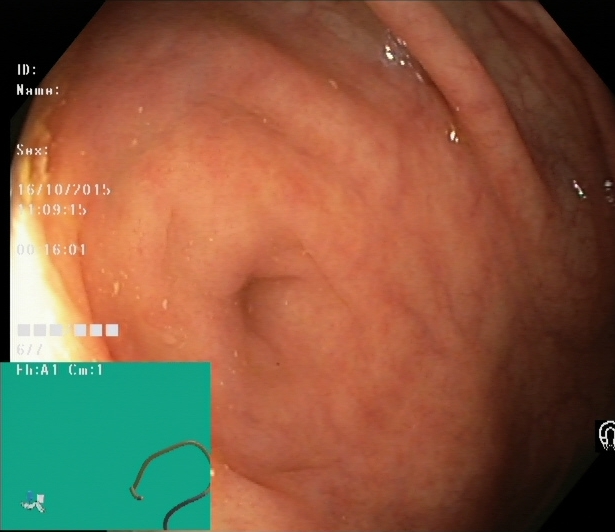Cecum.